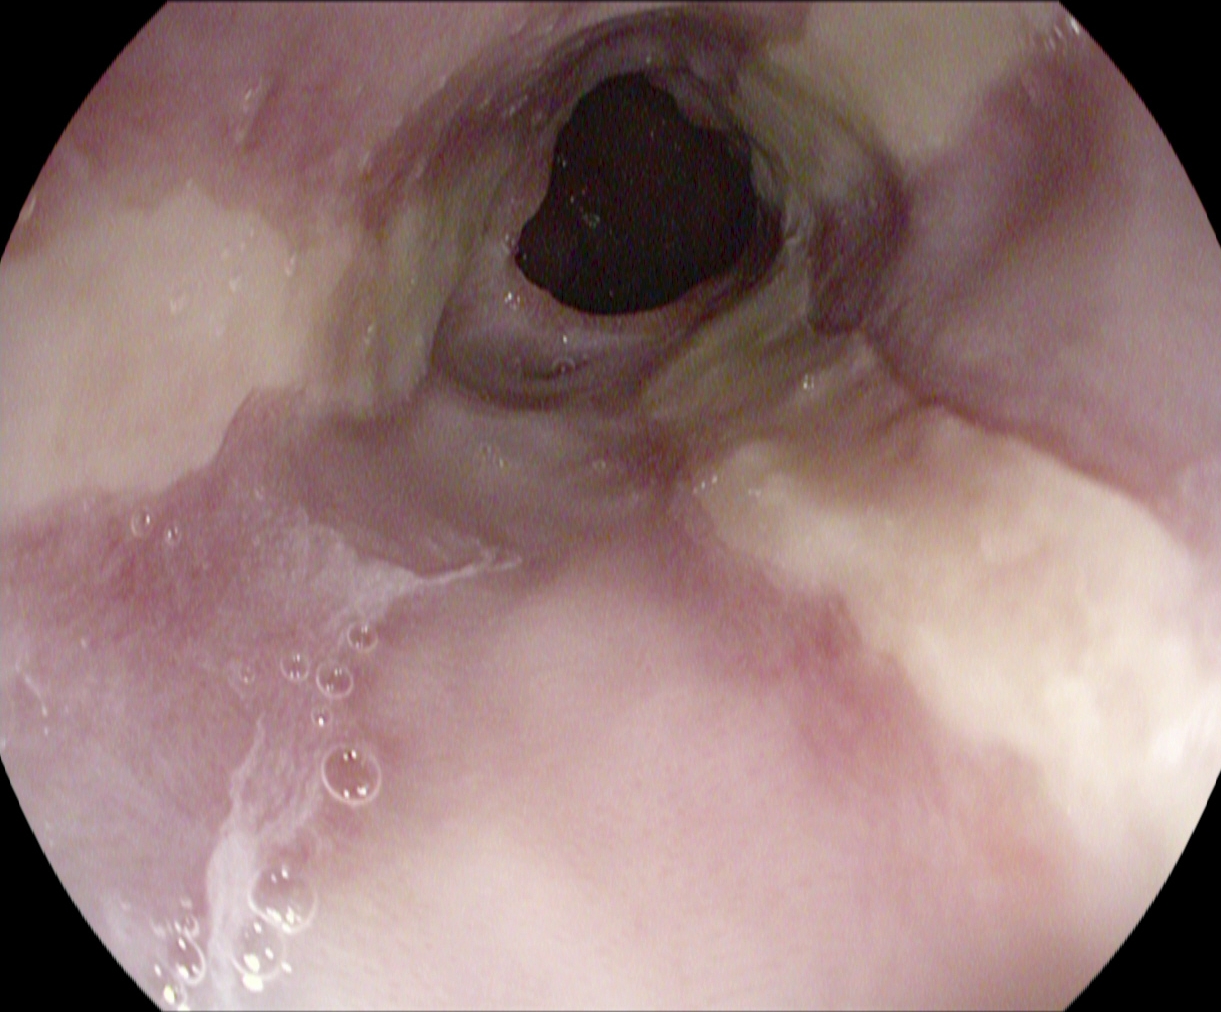Endoscopy image of the upper GI tract showing reflux esophagitis, Los Angeles grade B–D.